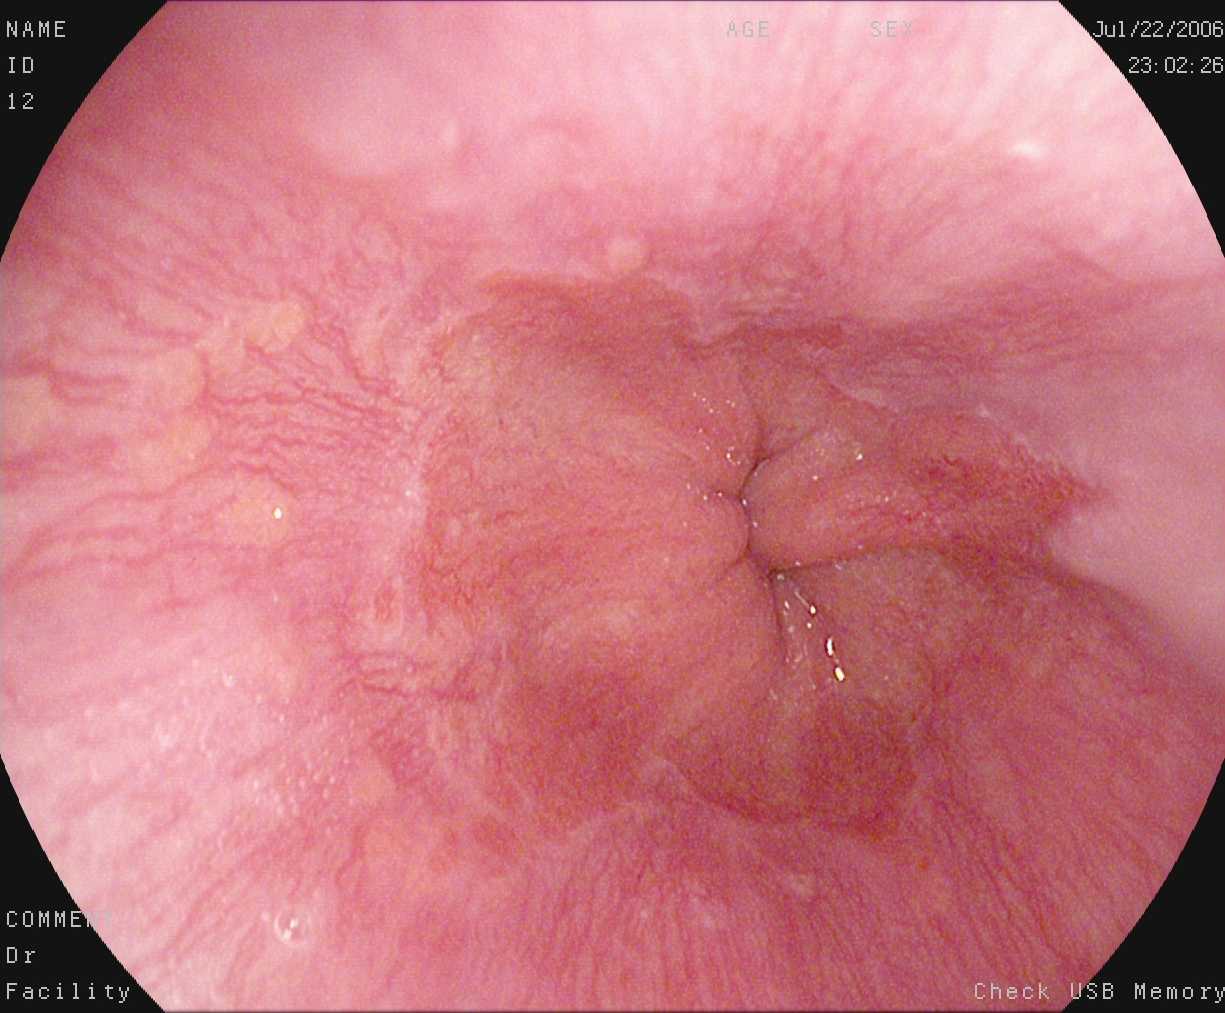{"modality": "esophagogastroduodenoscopy", "finding": "reflux esophagitis, Los Angeles grade A"}